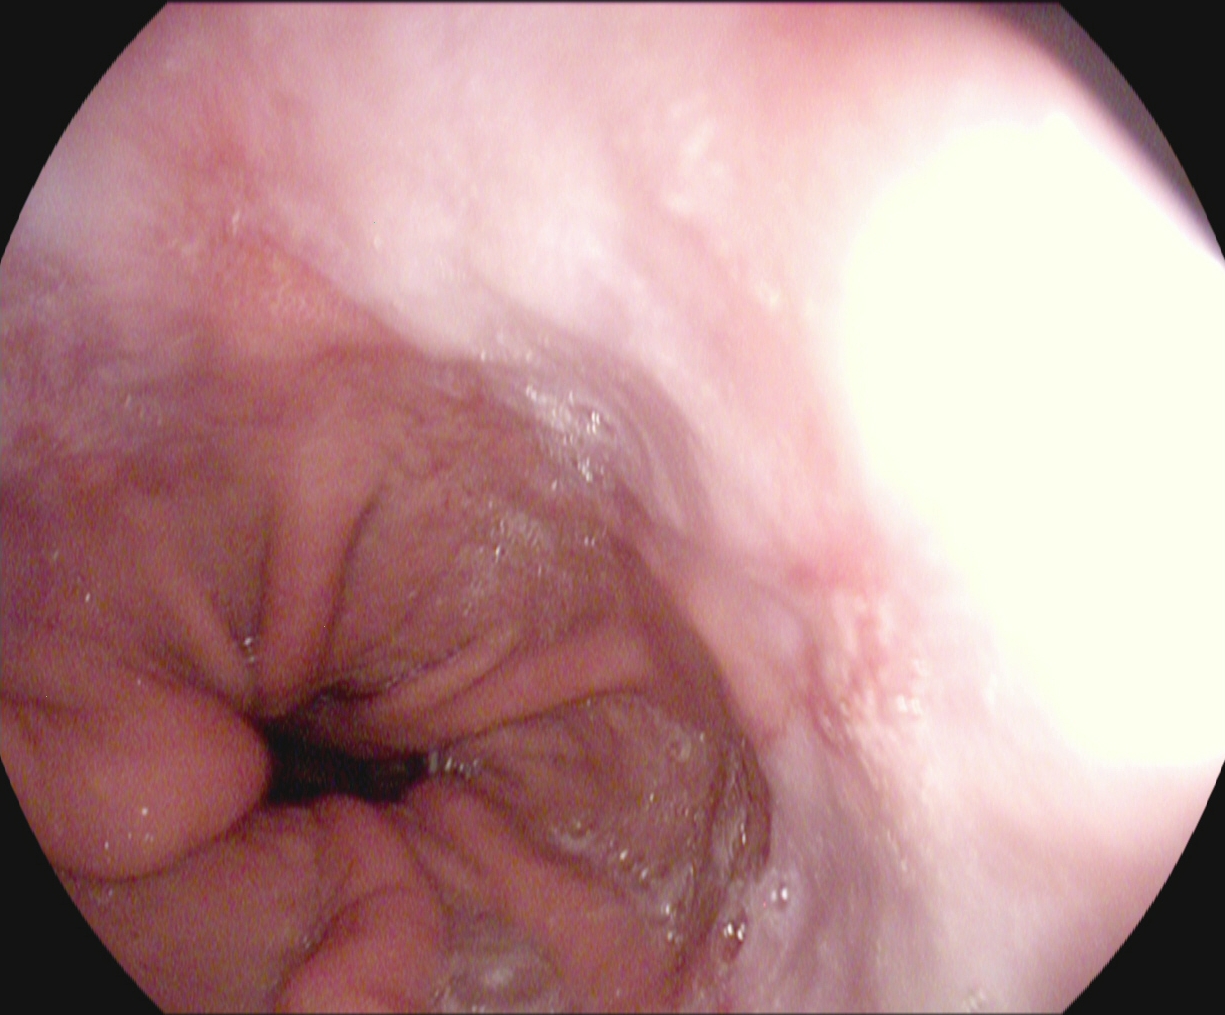Reflux esophagitis, Los Angeles grade B–D.